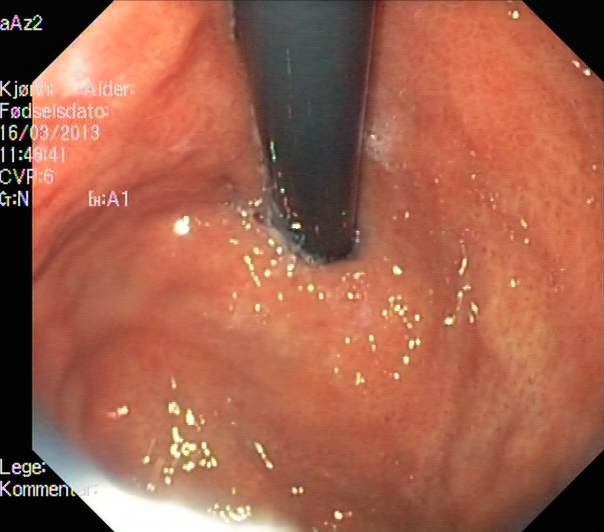PROCEDURE: EGD.
FINDINGS: Stomach in retroflexion.